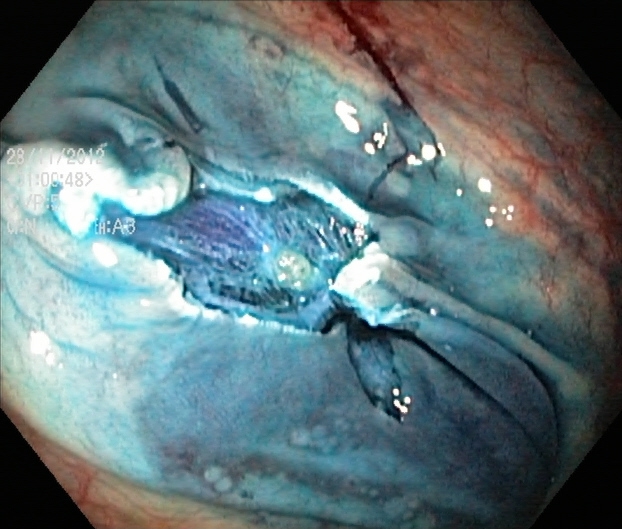Colonoscopy — dyed resection margins (post-polypectomy).